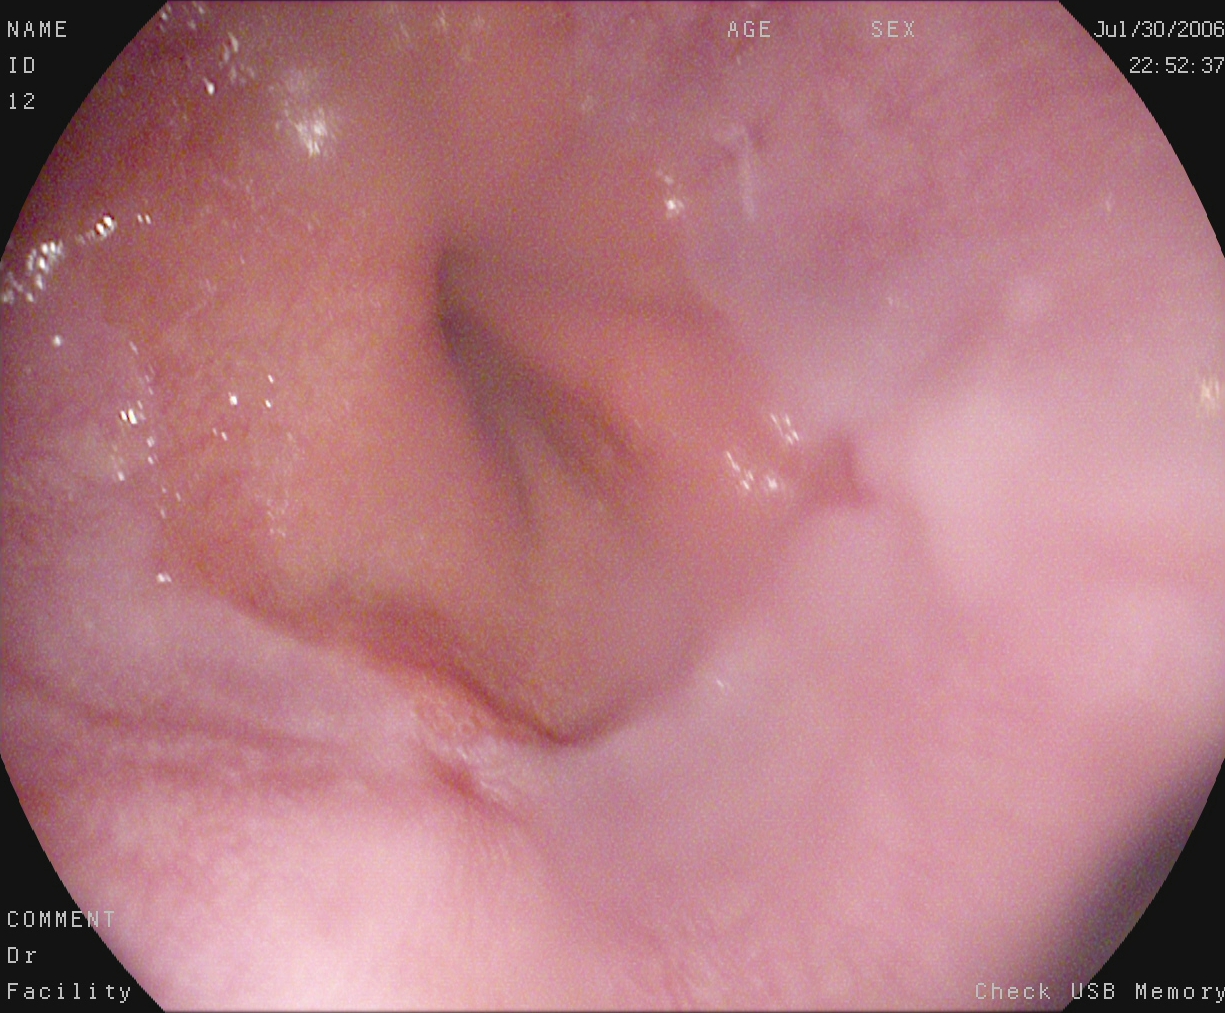Reflux esophagitis, Los Angeles grade A.